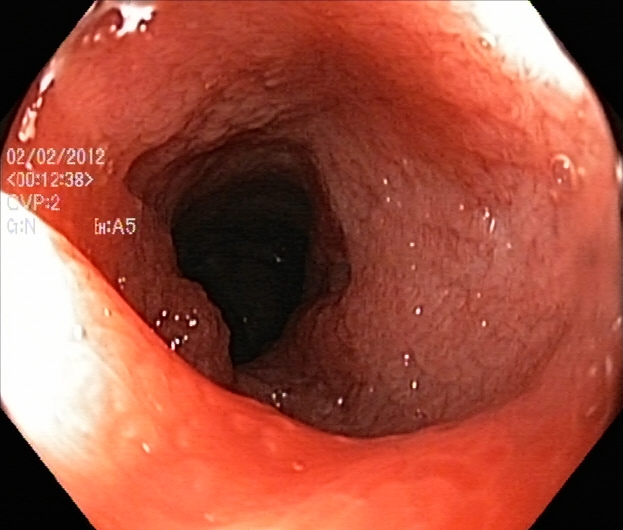{"modality": "lower gastrointestinal endoscopy", "category": "pathological finding", "finding": "ulcerative colitis, Mayo endoscopic subscore 2"}